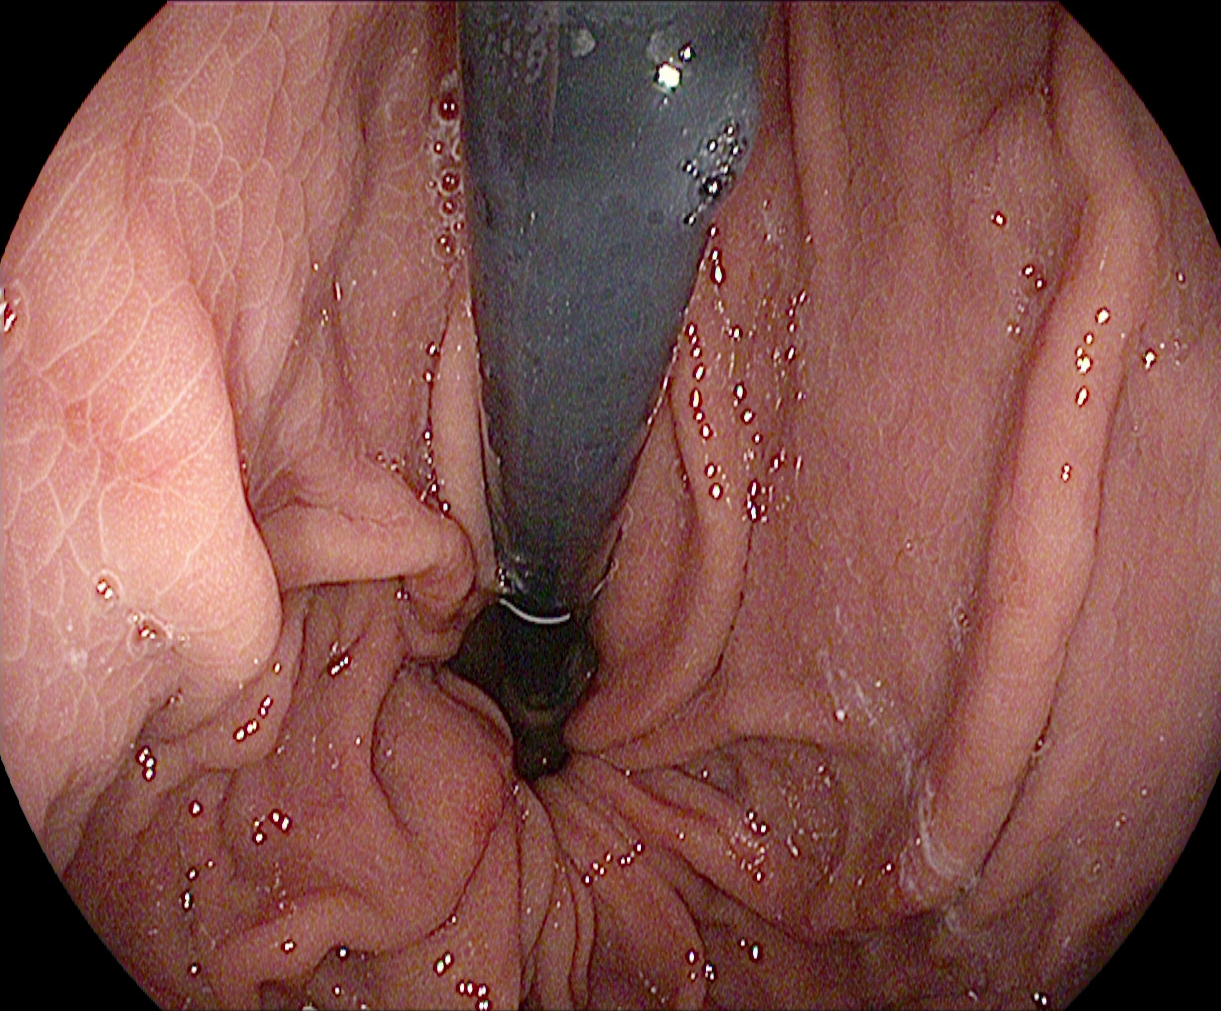modality: EGD | category: anatomical landmark | finding: stomach in retroflexion